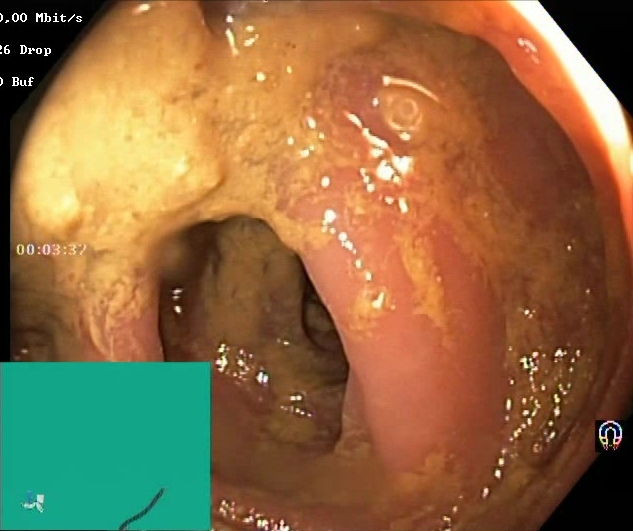Endoscopic frame showing Boston Bowel Preparation Scale score 0–1 (inadequate preparation).